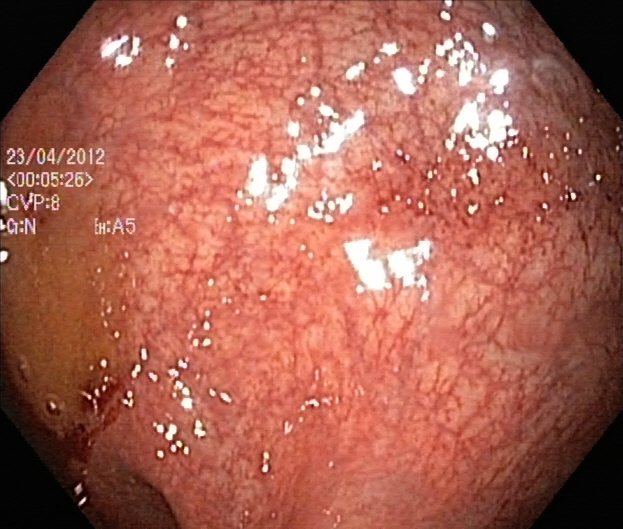Colonoscopy. Pathological finding. Finding: UC, Mayo endoscopic subscore 0–1.